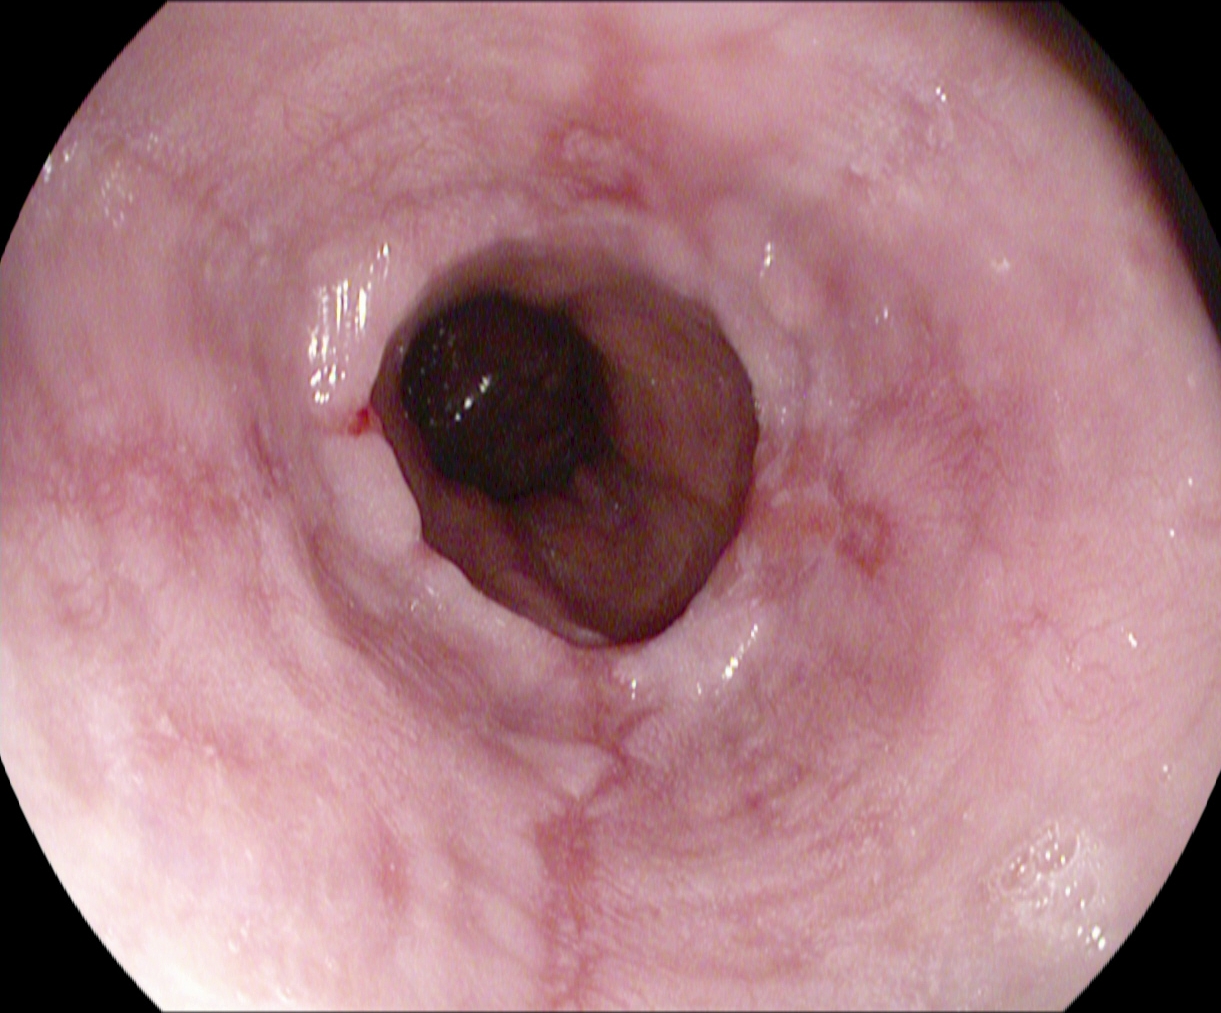This endoscopy frame of the upper GI tract shows reflux esophagitis, LA grade A.